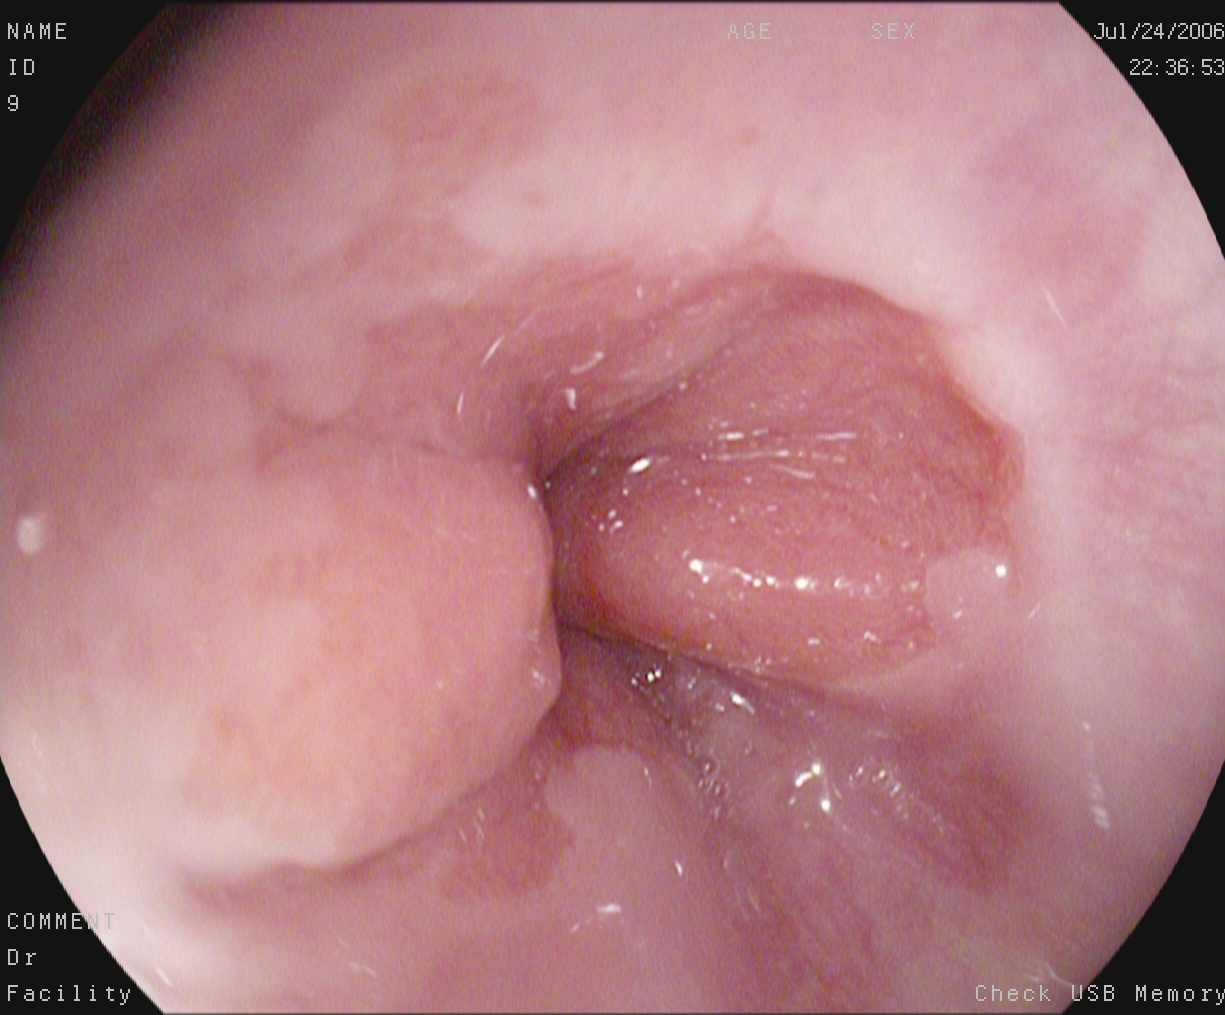Z-line (gastroesophageal junction).